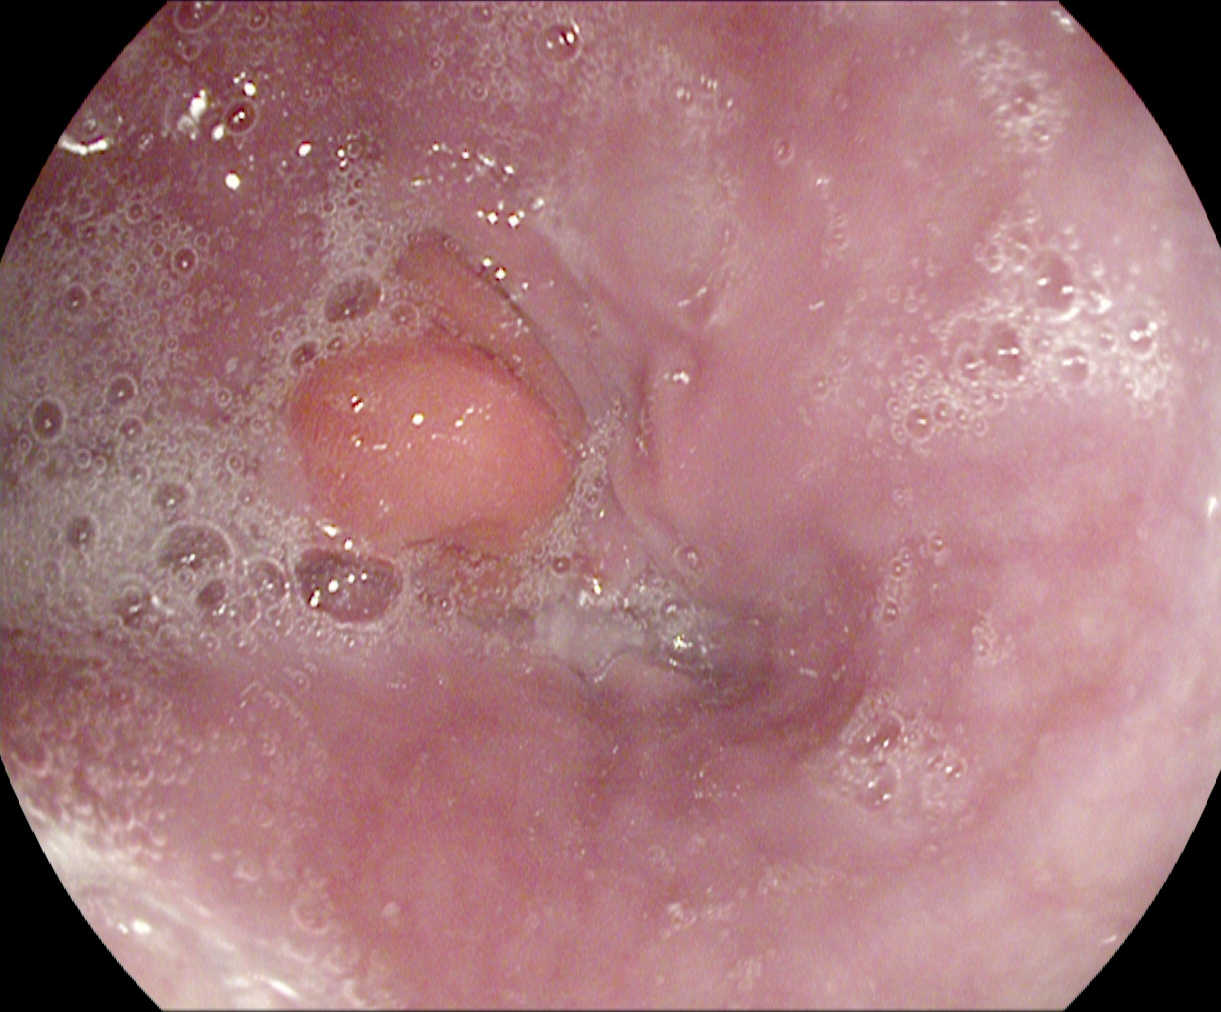This endoscopic image of the upper GI tract shows Z-line (gastroesophageal junction).